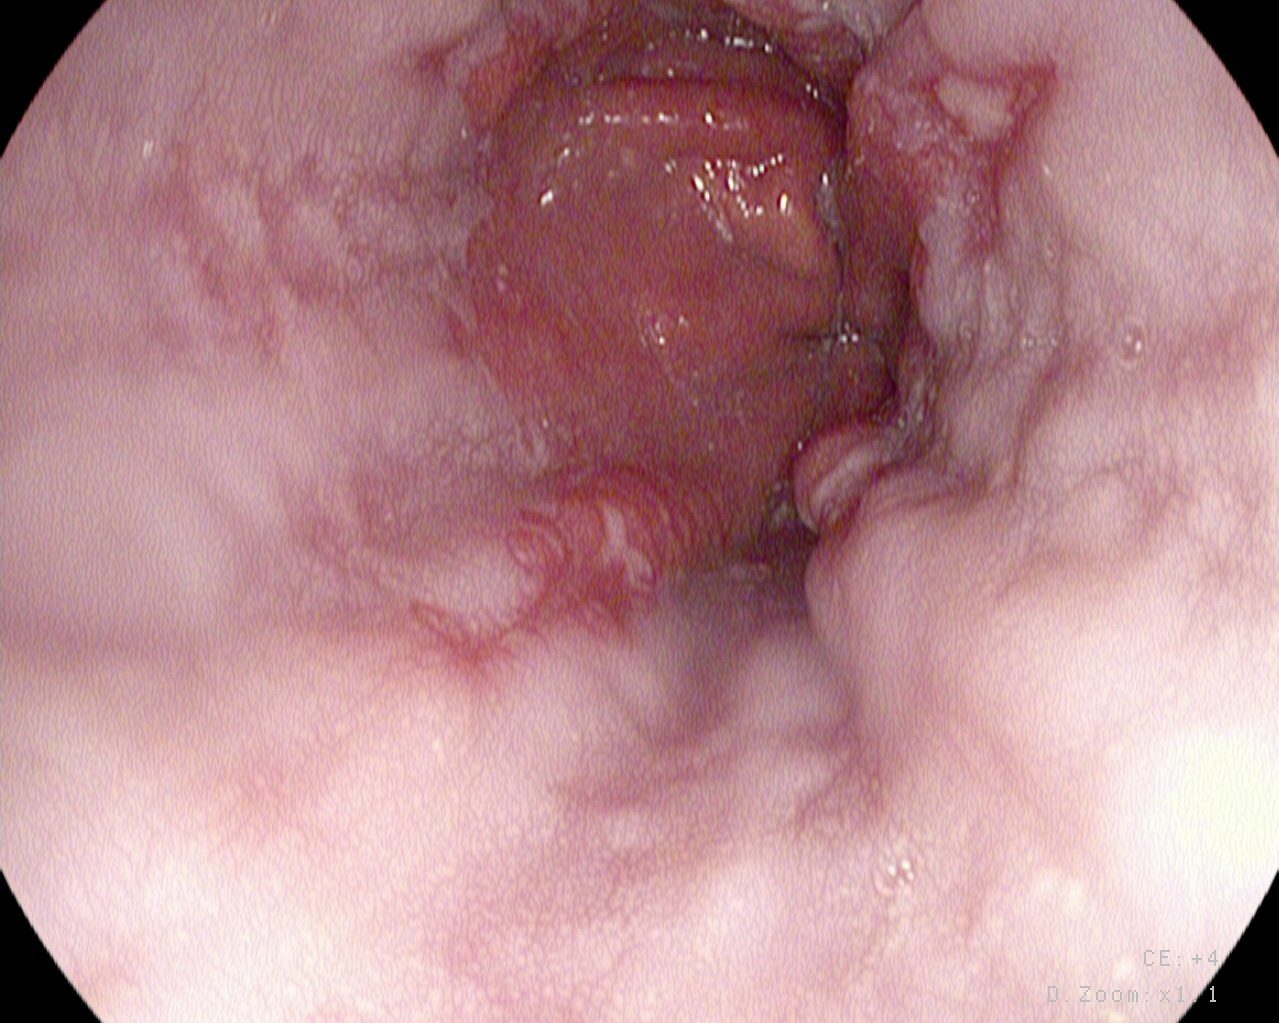PROCEDURE: EGD.
CATEGORY: Pathological finding.
FINDINGS: Reflux esophagitis, Los Angeles grade B–D.